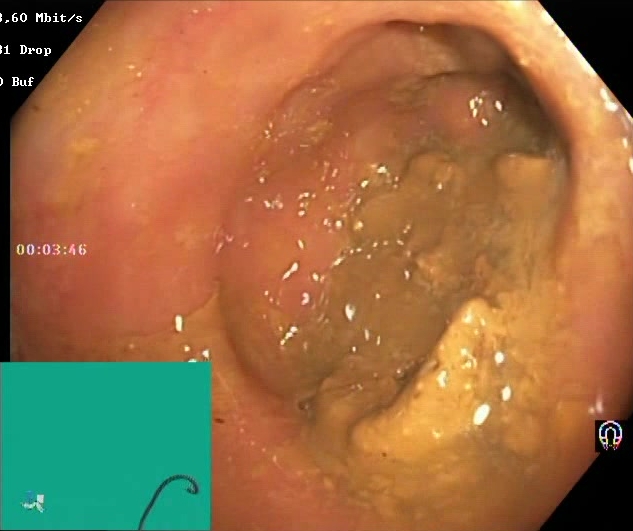BBPS score 0–1 (inadequate preparation).